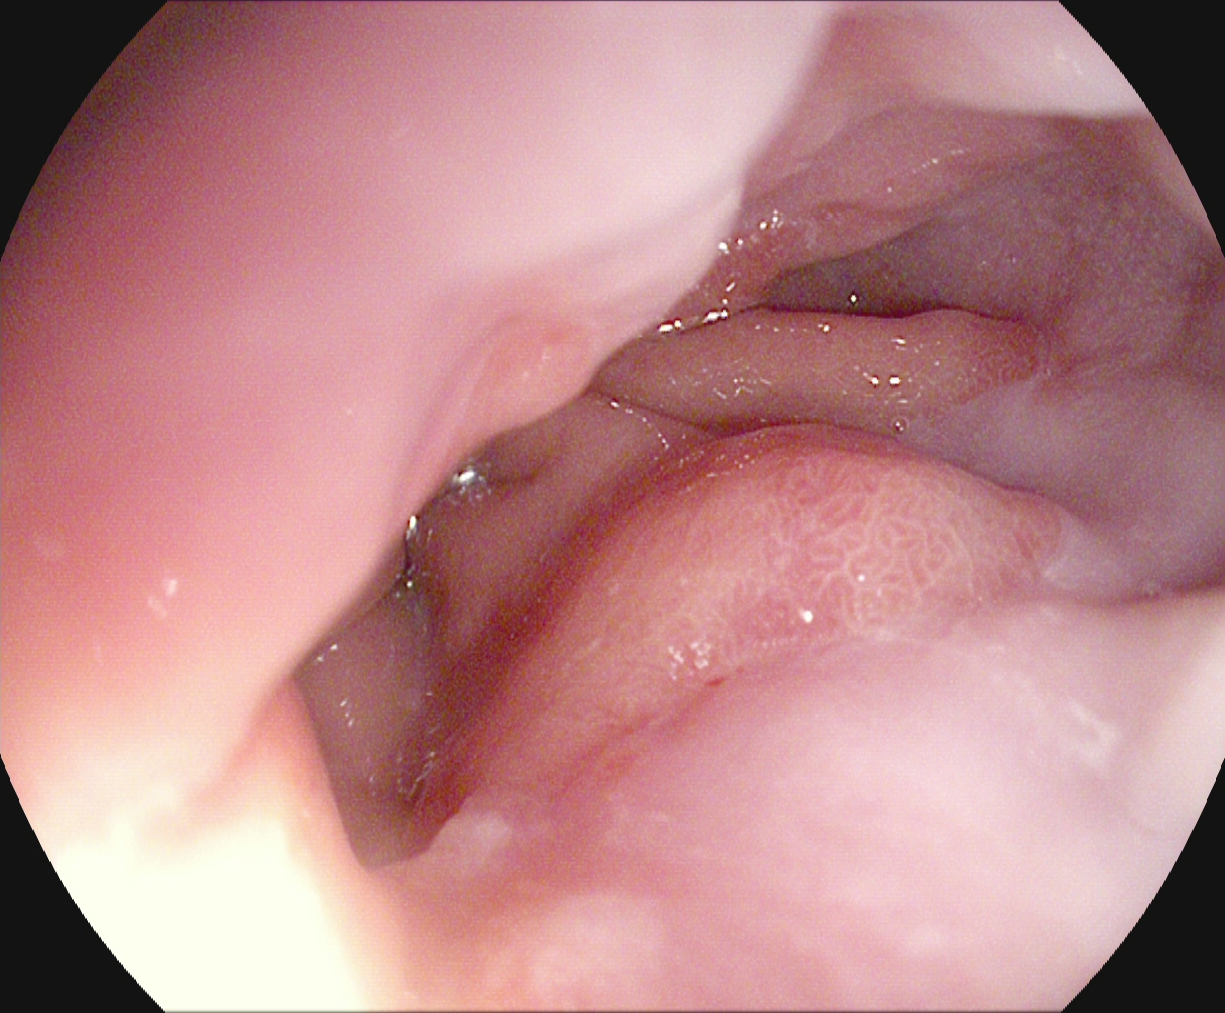This endoscopic image shows reflux esophagitis, Los Angeles grade A.